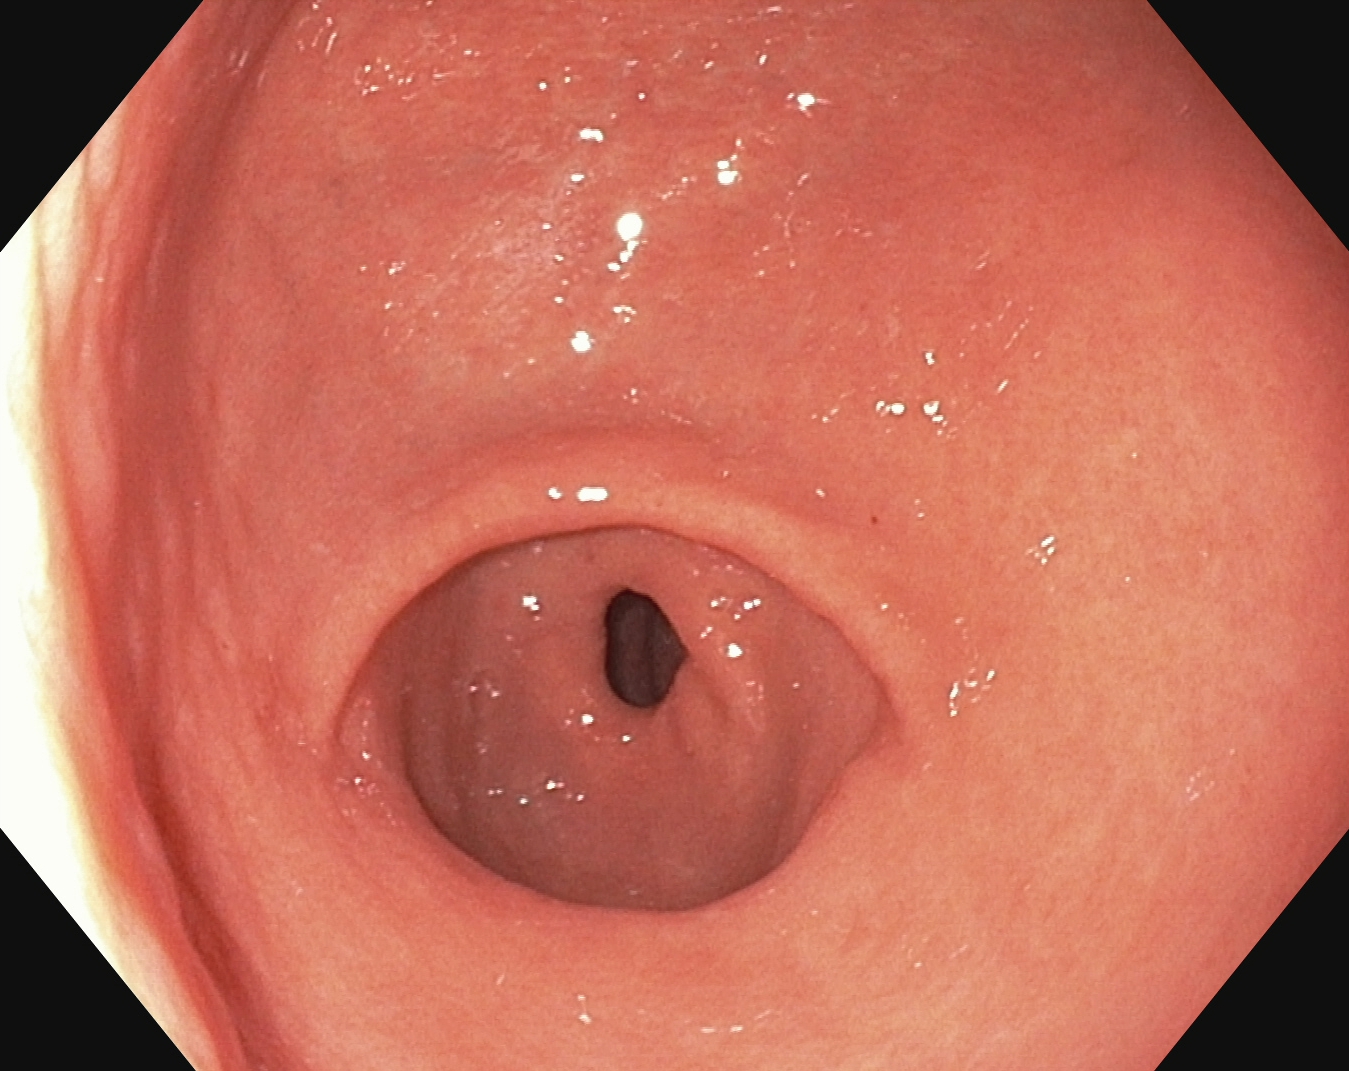GI endoscopy image of the upper GI tract showing pylorus.